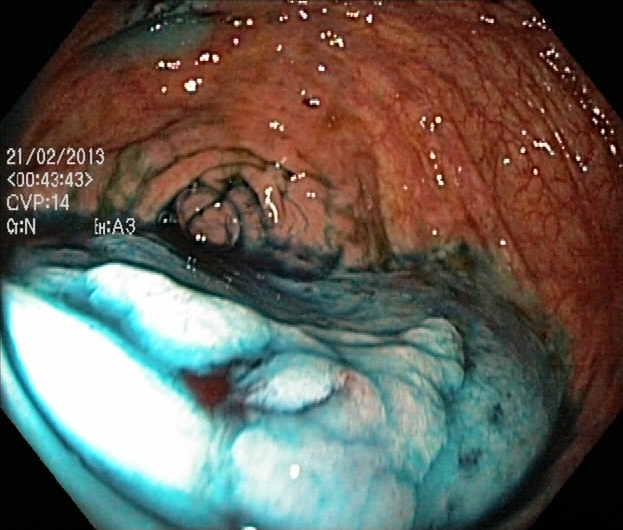modality: colonoscopy; tract: lower GI tract; finding: dyed and lifted polyp (pre-resection)